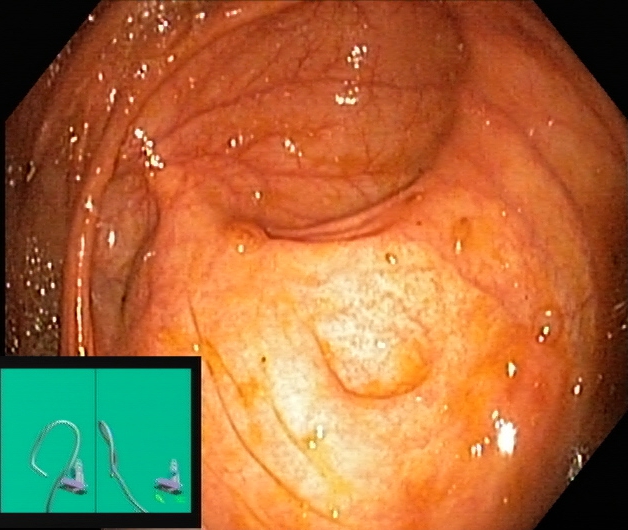Lower-GI endoscopy — cecum.